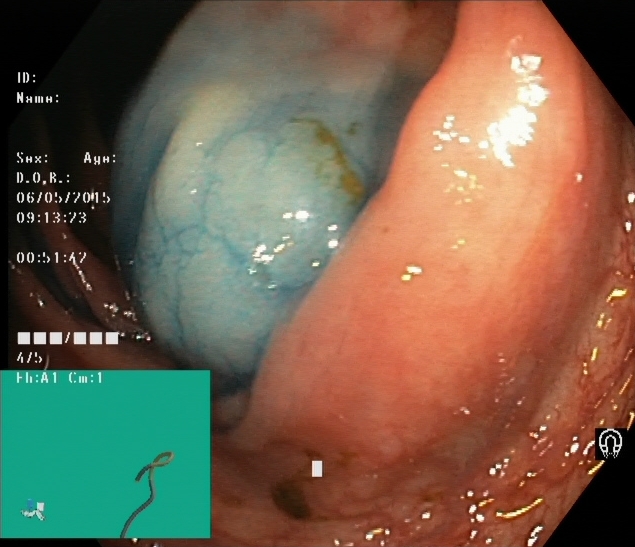GI endoscopy image of the lower GI tract showing dyed and lifted polyp (pre-resection).